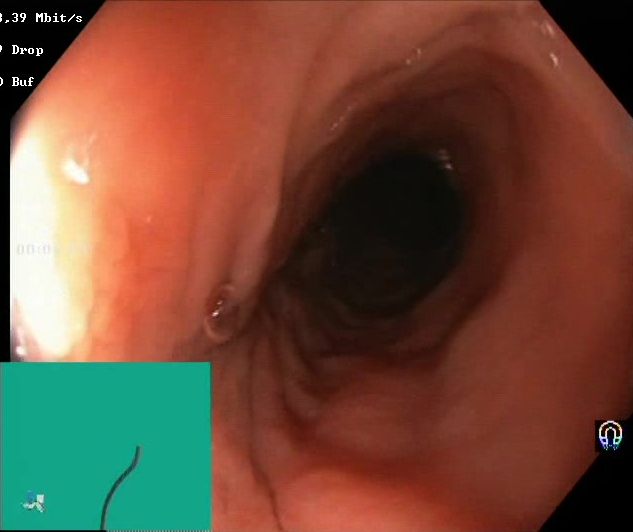This endoscopy frame shows BBPS score 2–3 (adequate preparation).